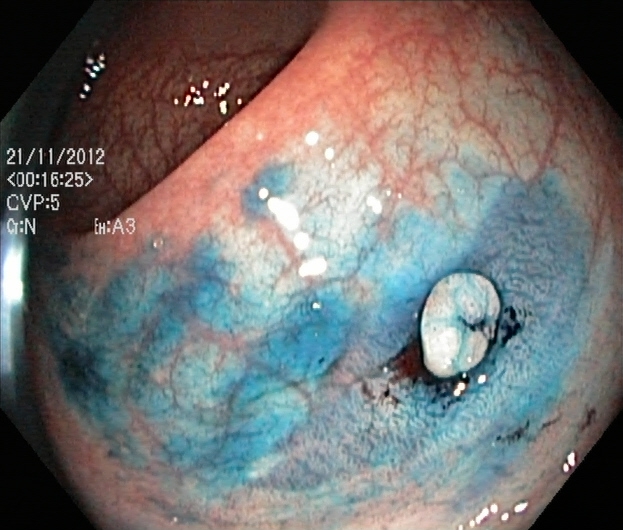This endoscopy frame of the lower GI tract shows dyed and lifted polyp (pre-resection).